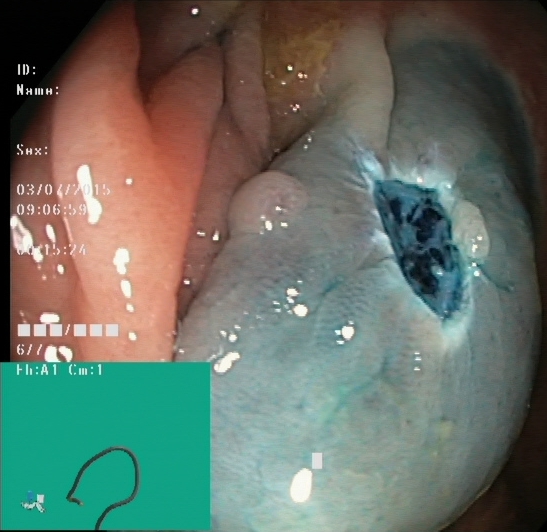modality: lower gastrointestinal endoscopy | category: therapeutic intervention | finding: dyed resection margins (post-polypectomy)